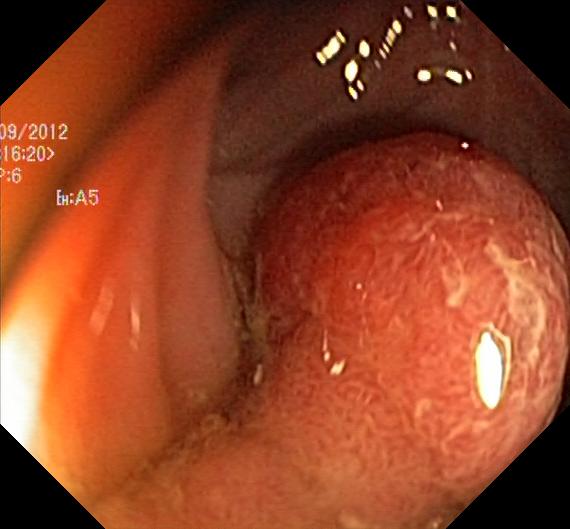Colonoscopy — colorectal polyp(s).